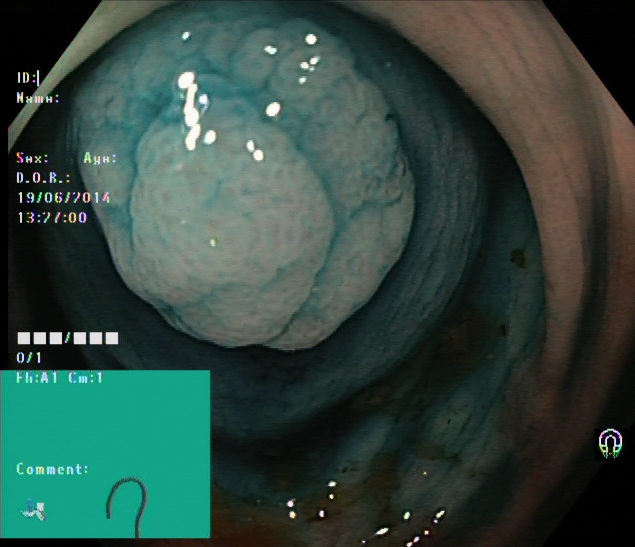PROCEDURE: Colonoscopy.
CATEGORY: Therapeutic intervention.
FINDINGS: Dyed and lifted polyp (pre-resection).